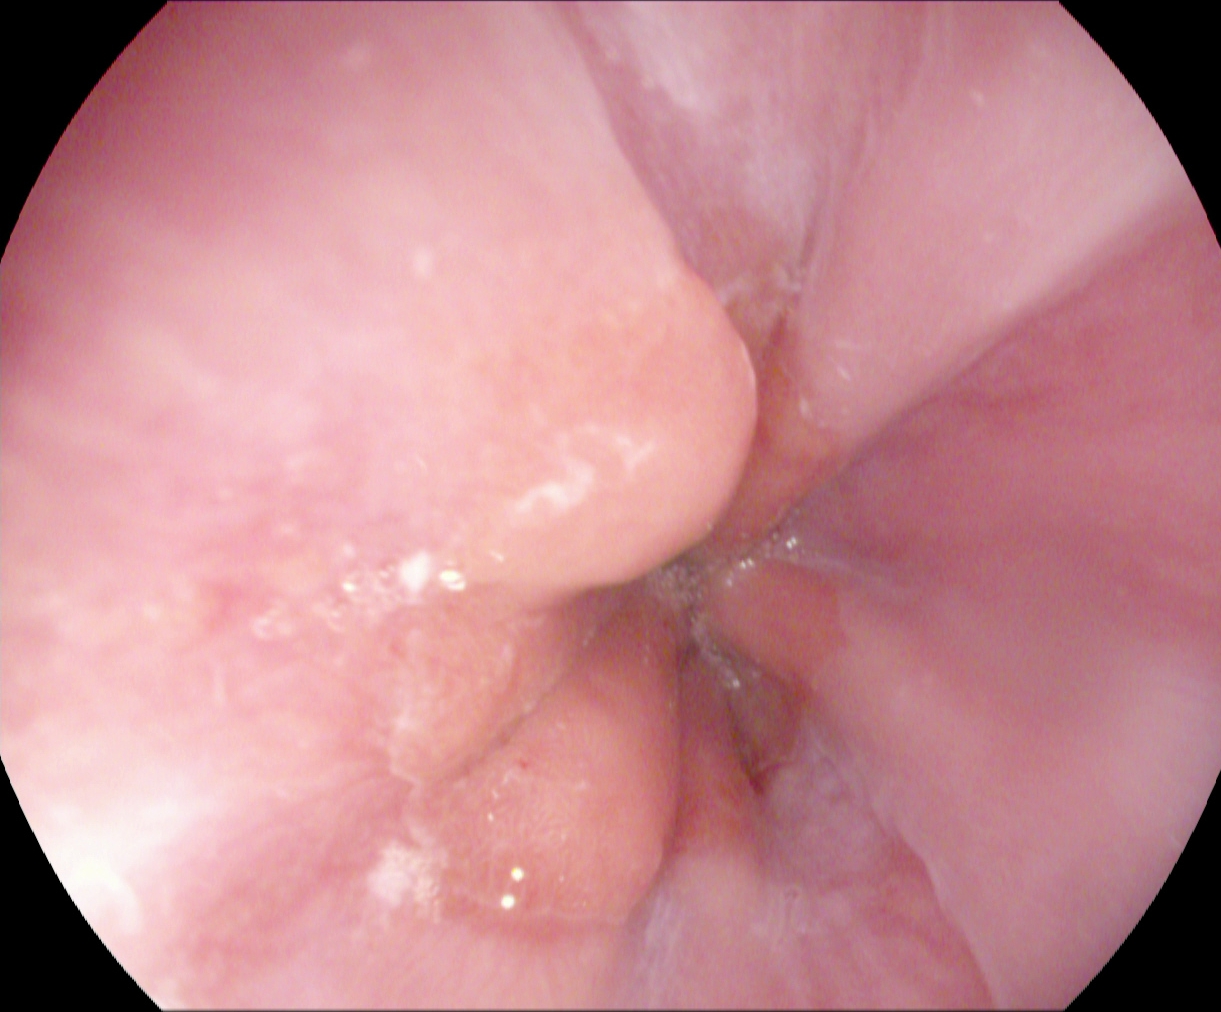Z-line (gastroesophageal junction).